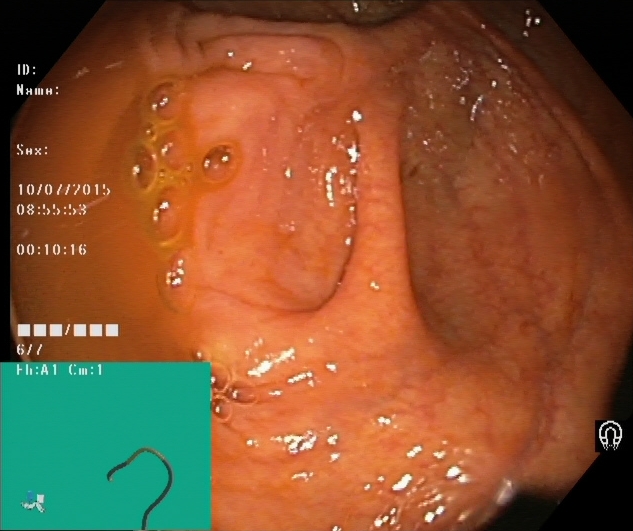PROCEDURE: Colonoscopy.
FINDINGS: Cecum.